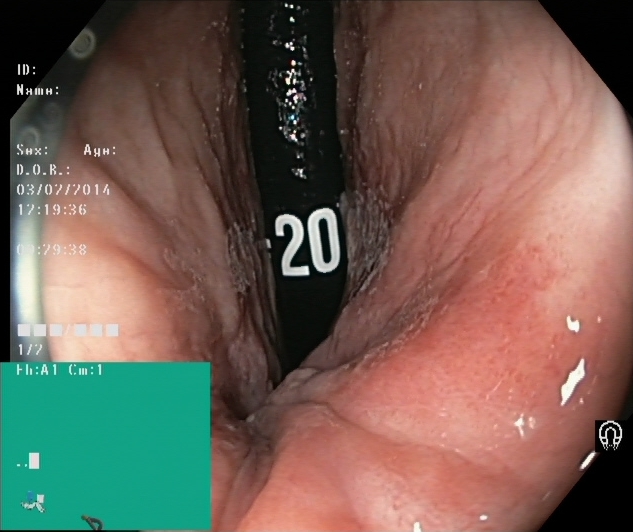{"modality": "colonoscopy", "category": "anatomical landmark", "finding": "rectum in retroflexion"}